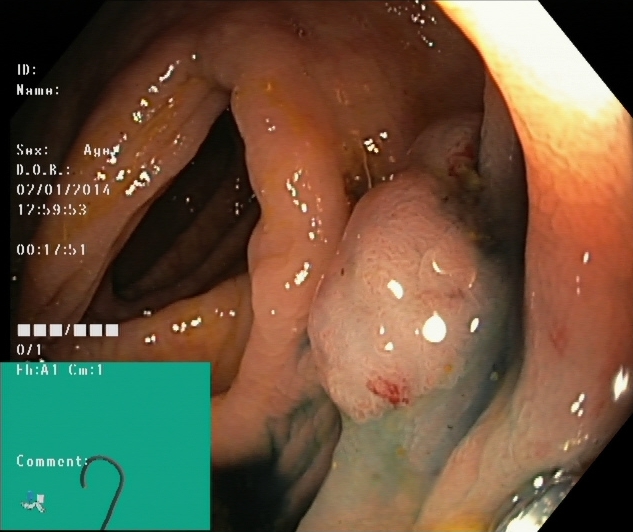This endoscopic image shows dyed and lifted polyp (pre-resection).